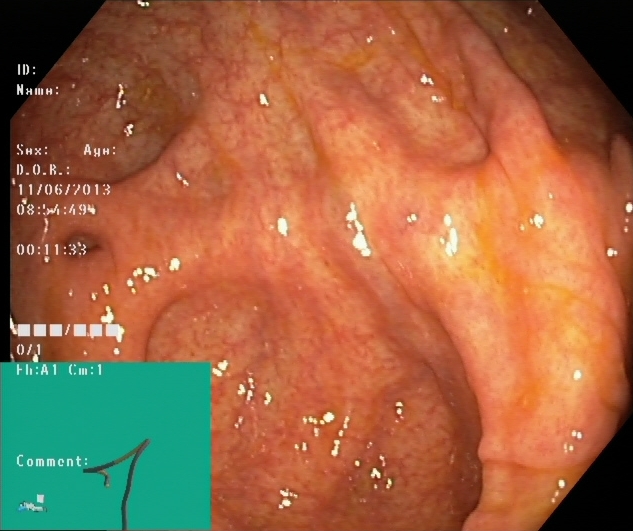GI endoscopy image of the lower GI tract showing cecum.